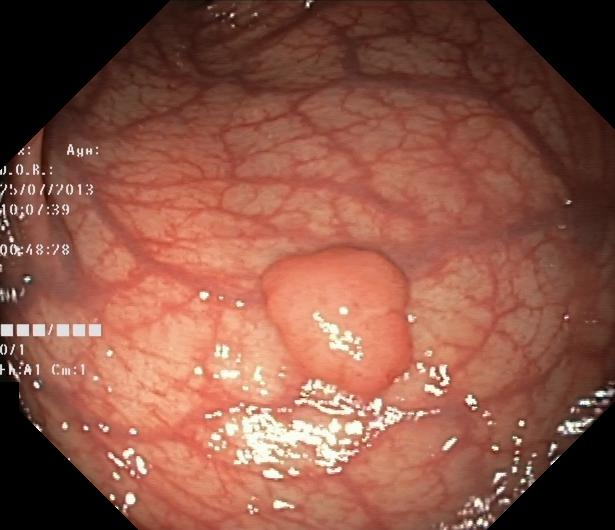This endoscopy frame shows colorectal polyp(s).